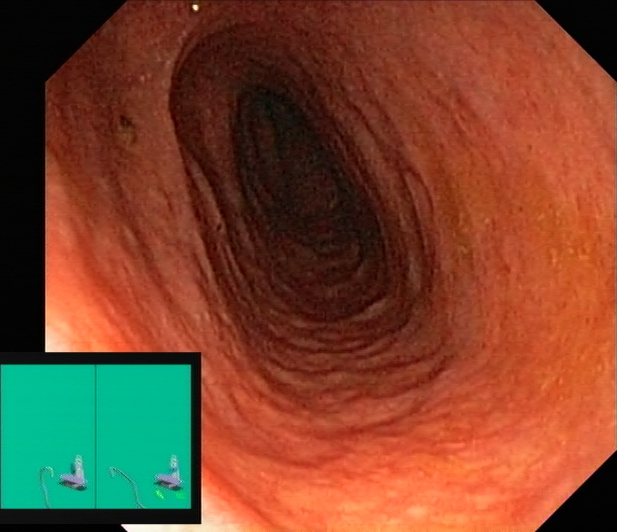{"modality": "lower-GI endoscopy", "finding": "UC, Mayo endoscopic subscore 2"}